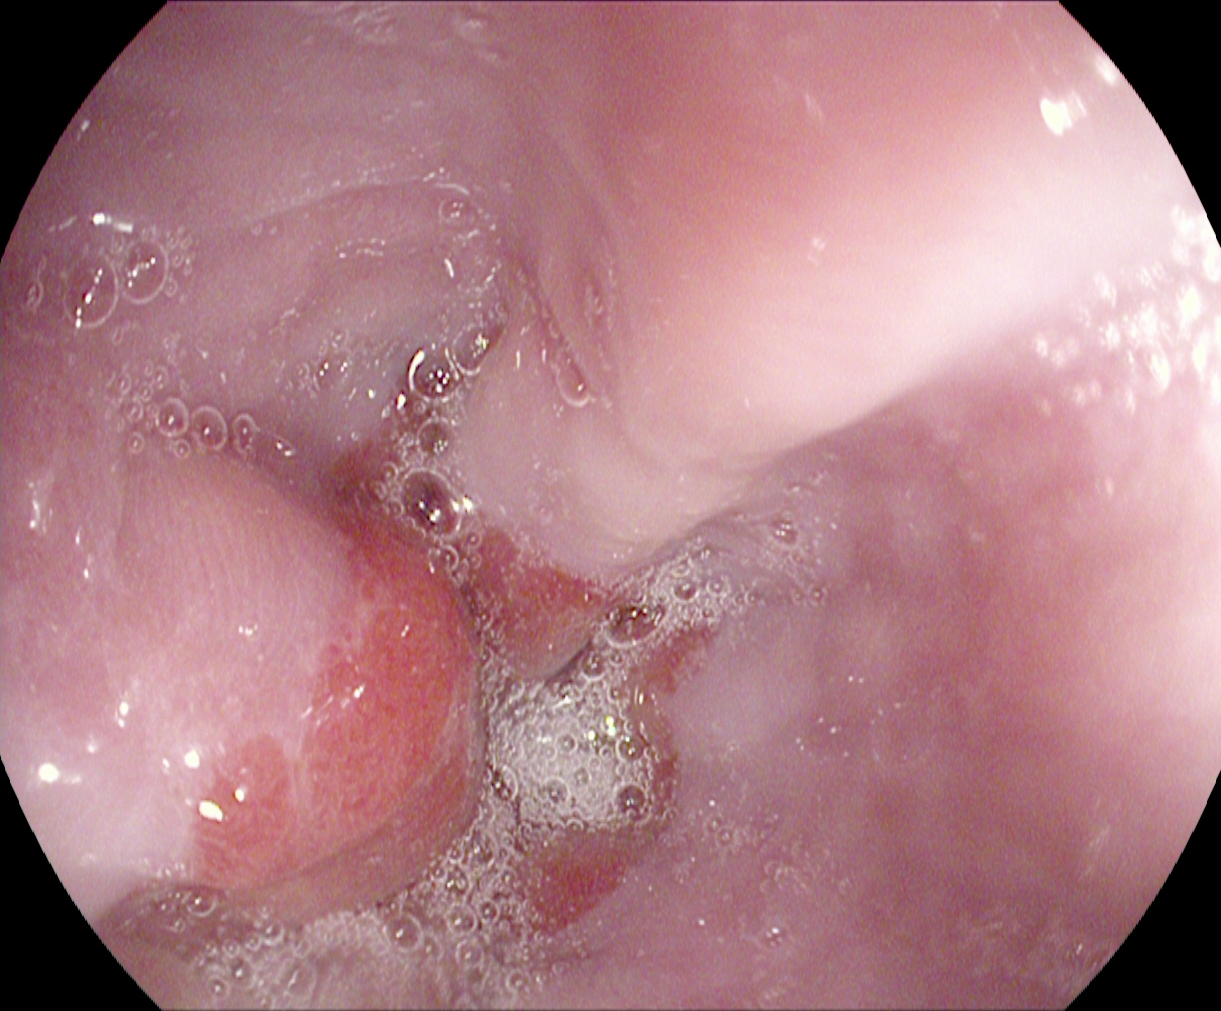Gastroscopy. Tract: upper GI tract. Anatomical landmark. Finding: Z-line (gastroesophageal junction).